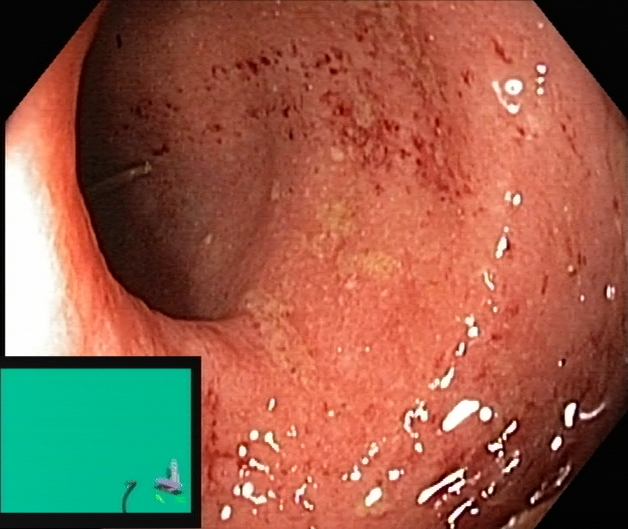modality: lower gastrointestinal endoscopy; tract: lower GI tract; finding: UC, Mayo endoscopic subscore 2